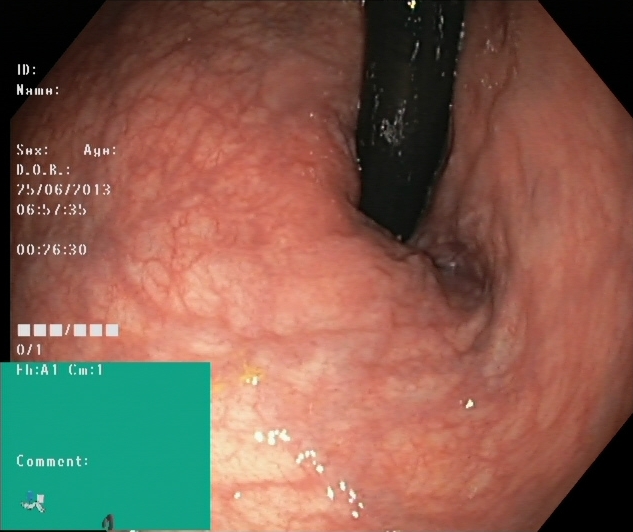Rectum in retroflexion.